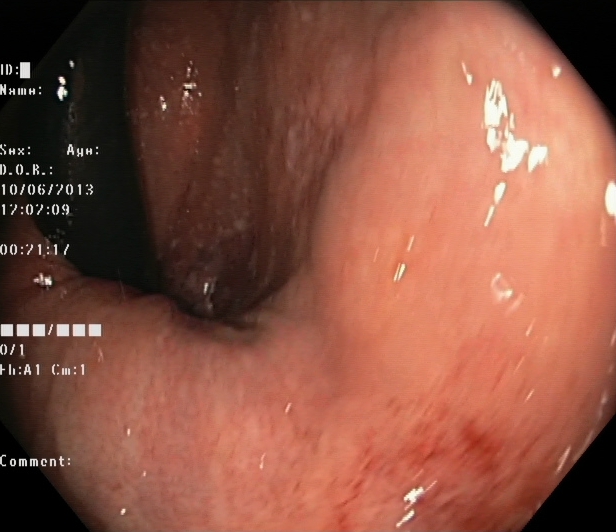This endoscopic image shows rectum in retroflexion.